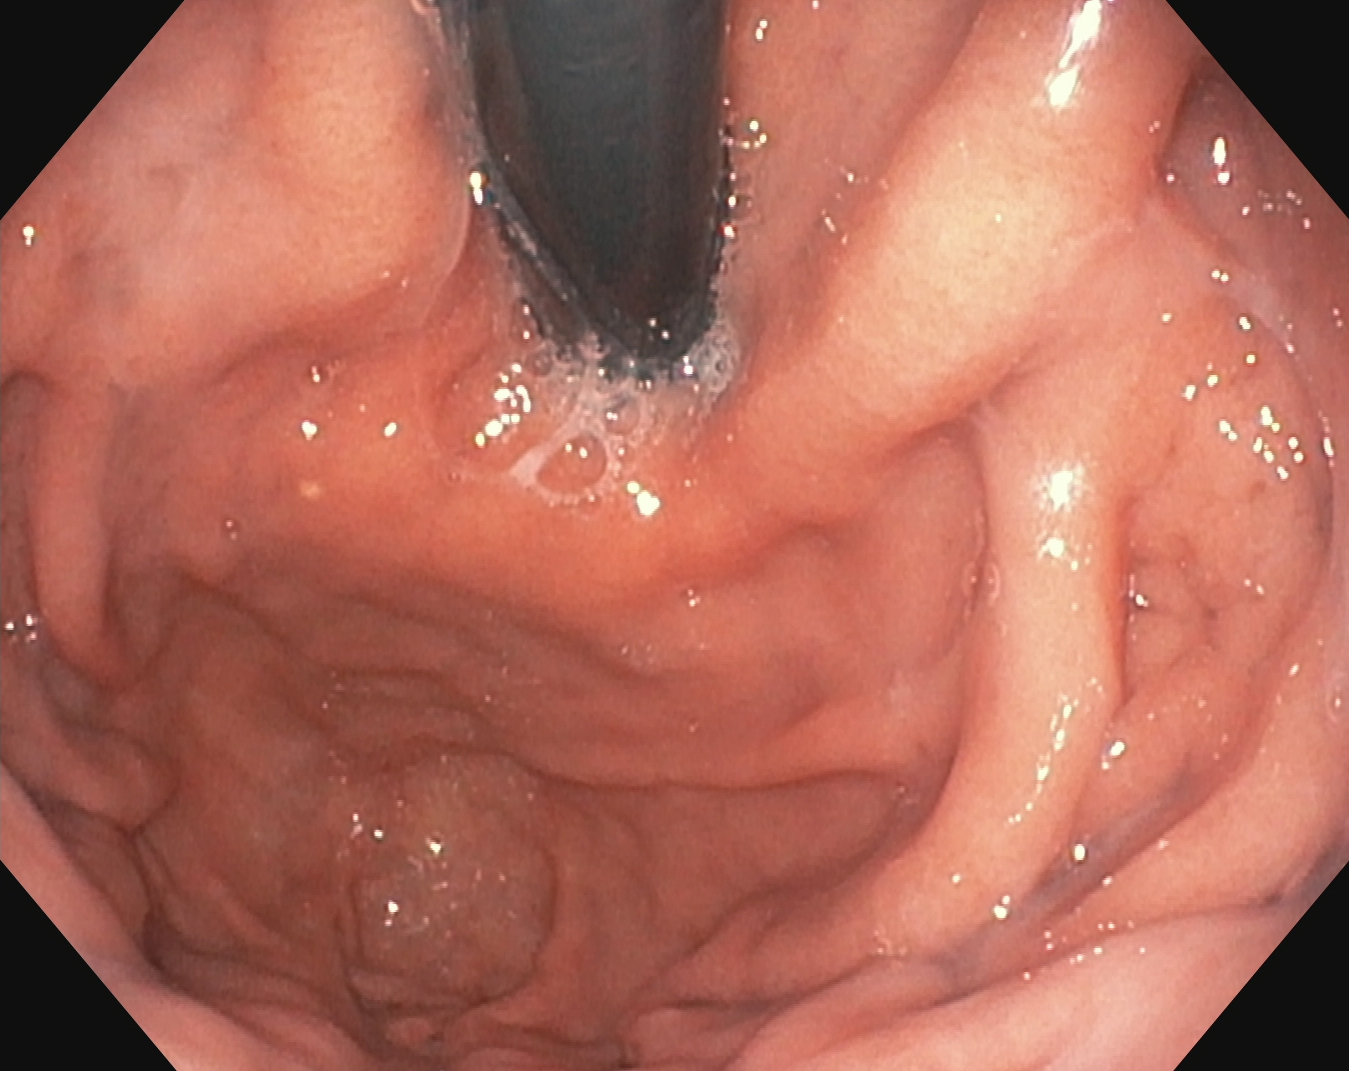Upper-GI endoscopy. Tract: upper GI tract. Finding: stomach in retroflexion.